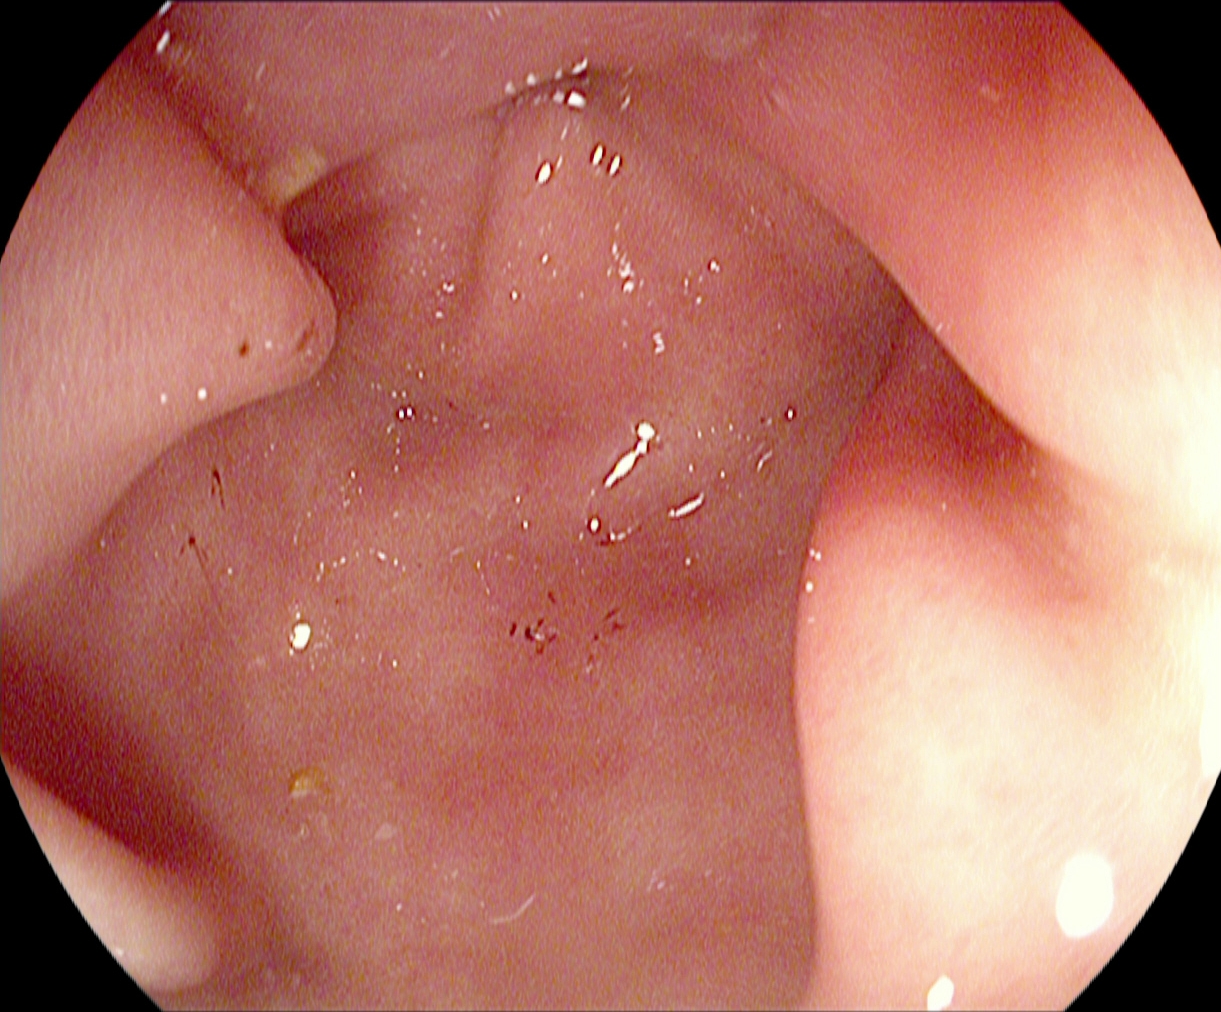EGD — pylorus.